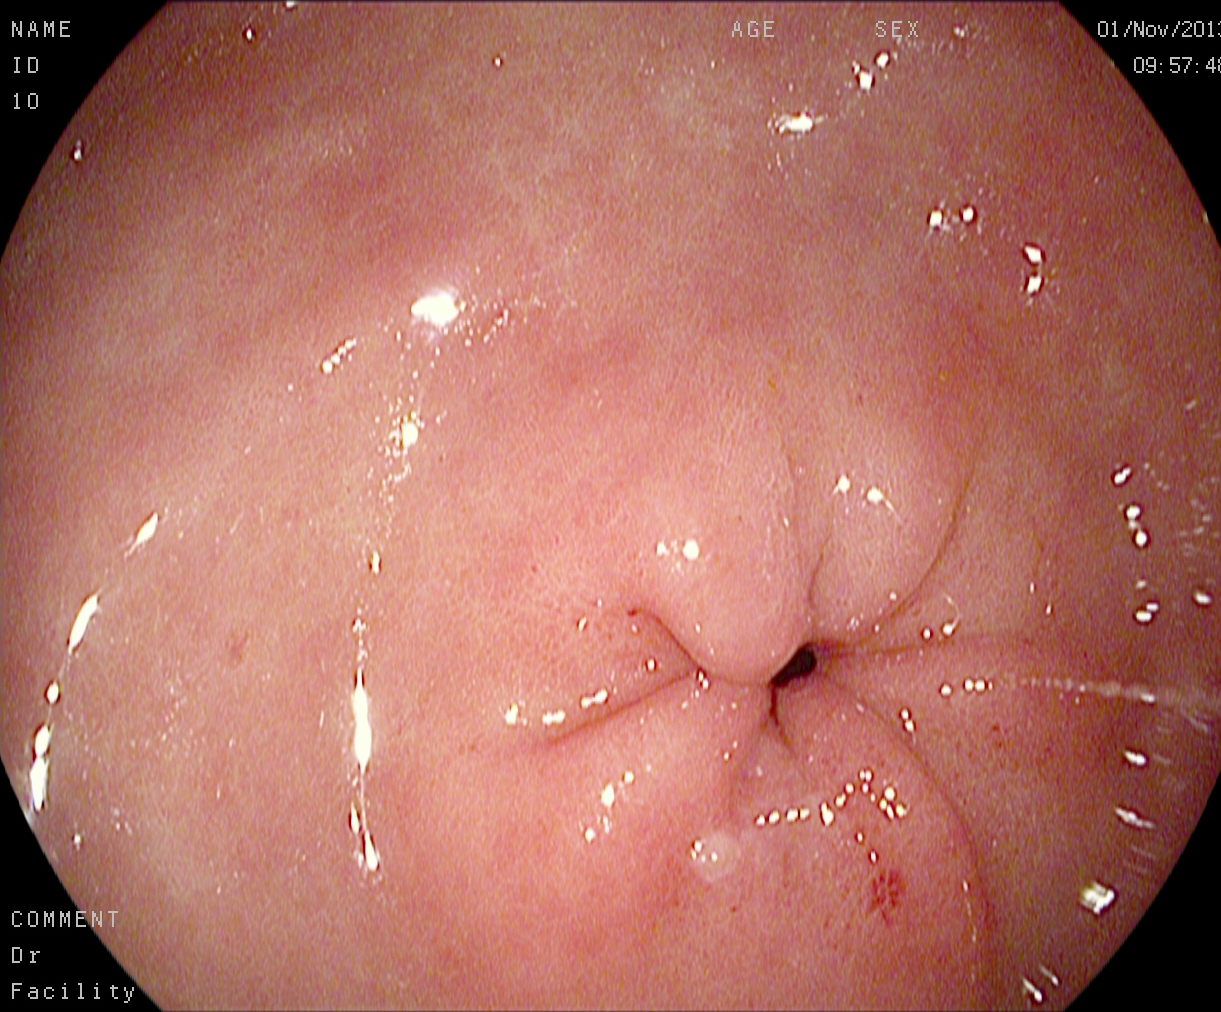Pylorus.